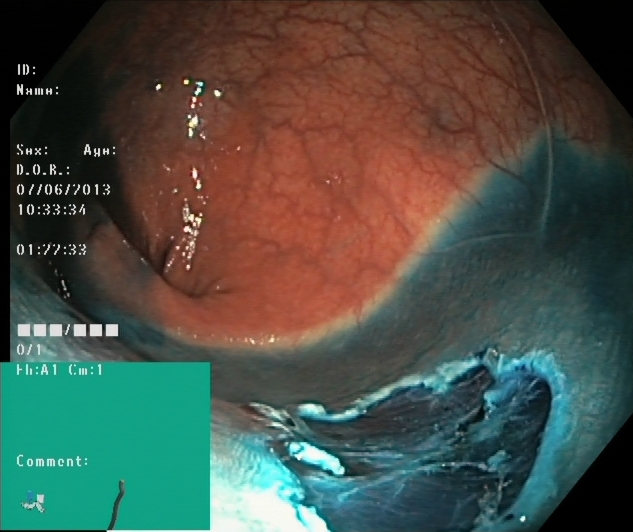{"modality": "lower gastrointestinal endoscopy", "finding": "dyed resection margins (post-polypectomy)"}